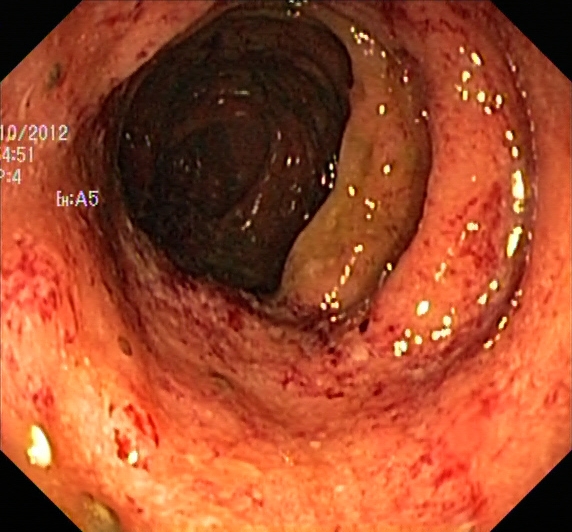Lower-GI endoscopy image of the lower GI tract showing ulcerative colitis, Mayo endoscopic subscore 3.